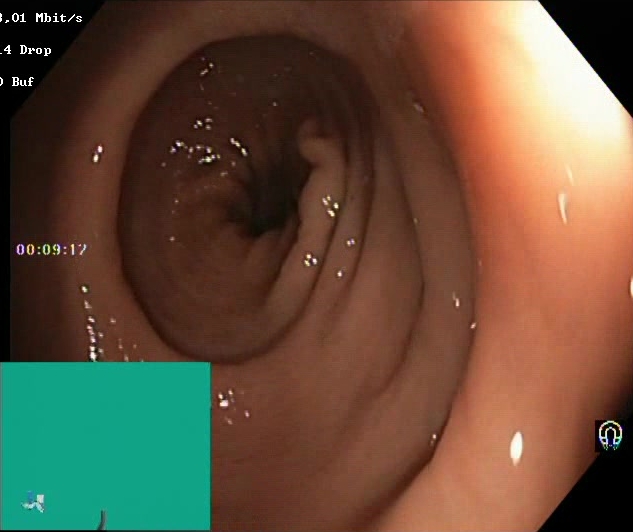Lower gastrointestinal endoscopy. Tract: lower GI tract. Finding: Boston Bowel Preparation Scale score 2–3 (adequate preparation).